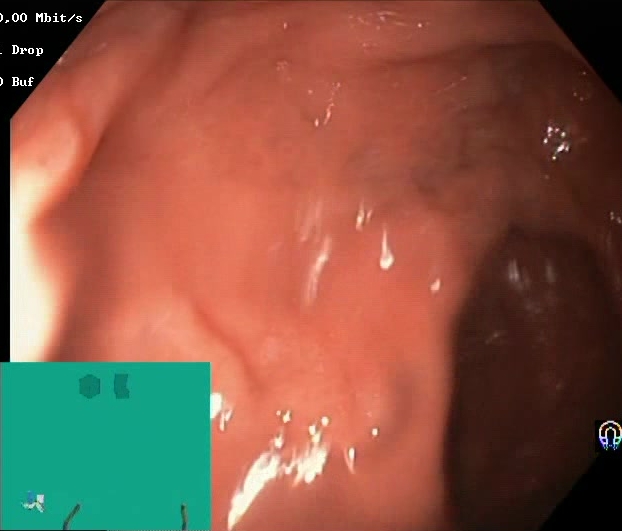GI endoscopy image showing Boston Bowel Preparation Scale score 2–3 (adequate preparation).